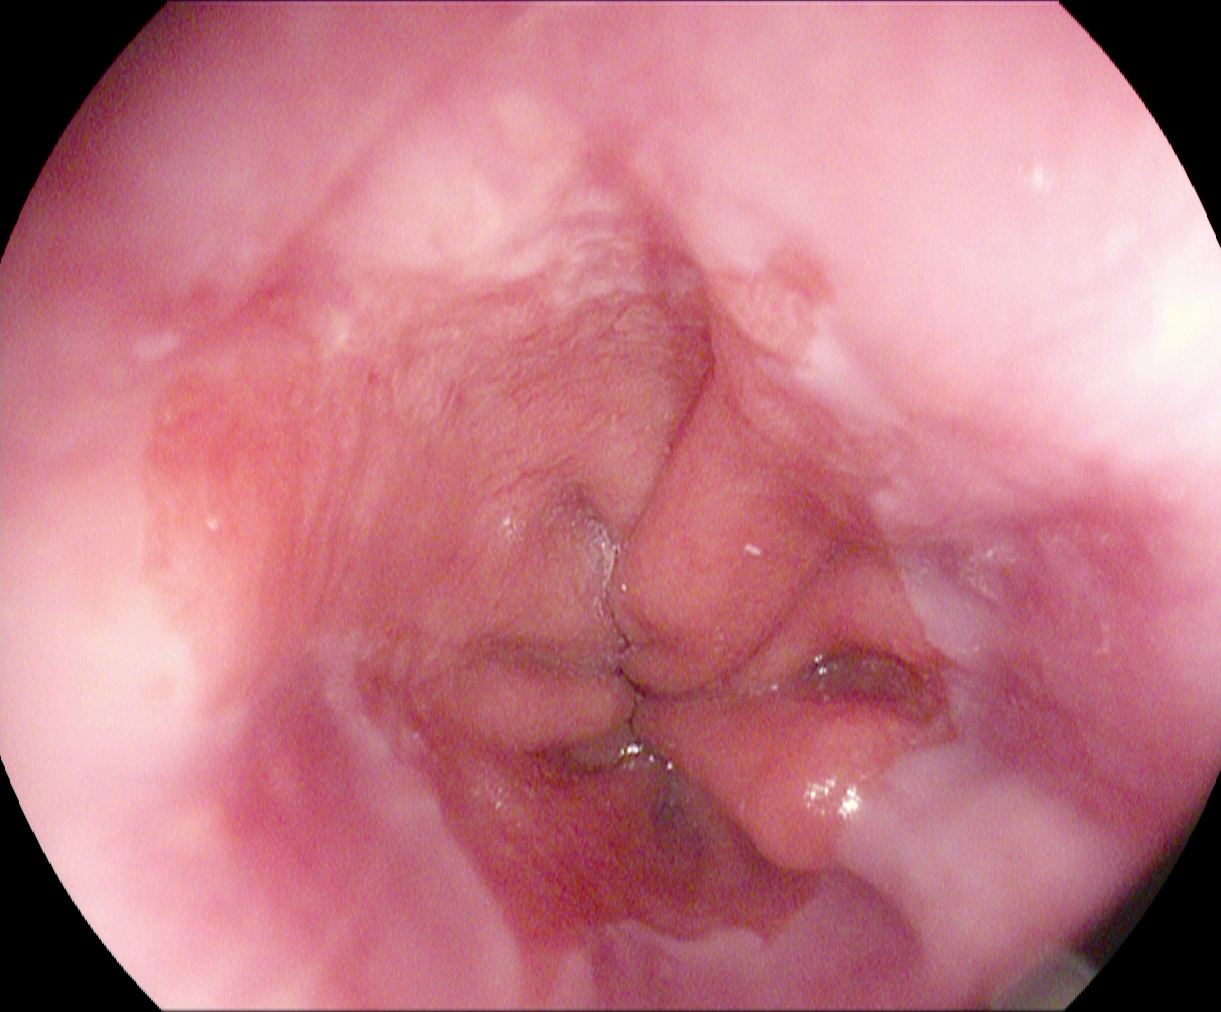Esophagogastroduodenoscopy. Tract: upper GI tract. Pathological finding. Finding: Barrett's esophagus, short segment.